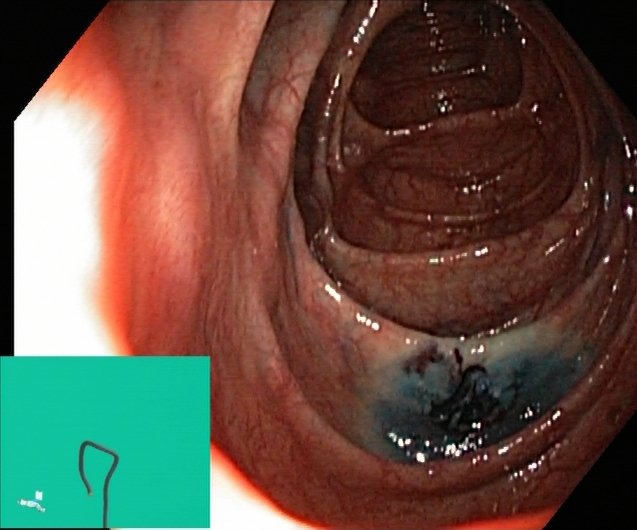Colonoscopy — dyed resection margins (post-polypectomy).